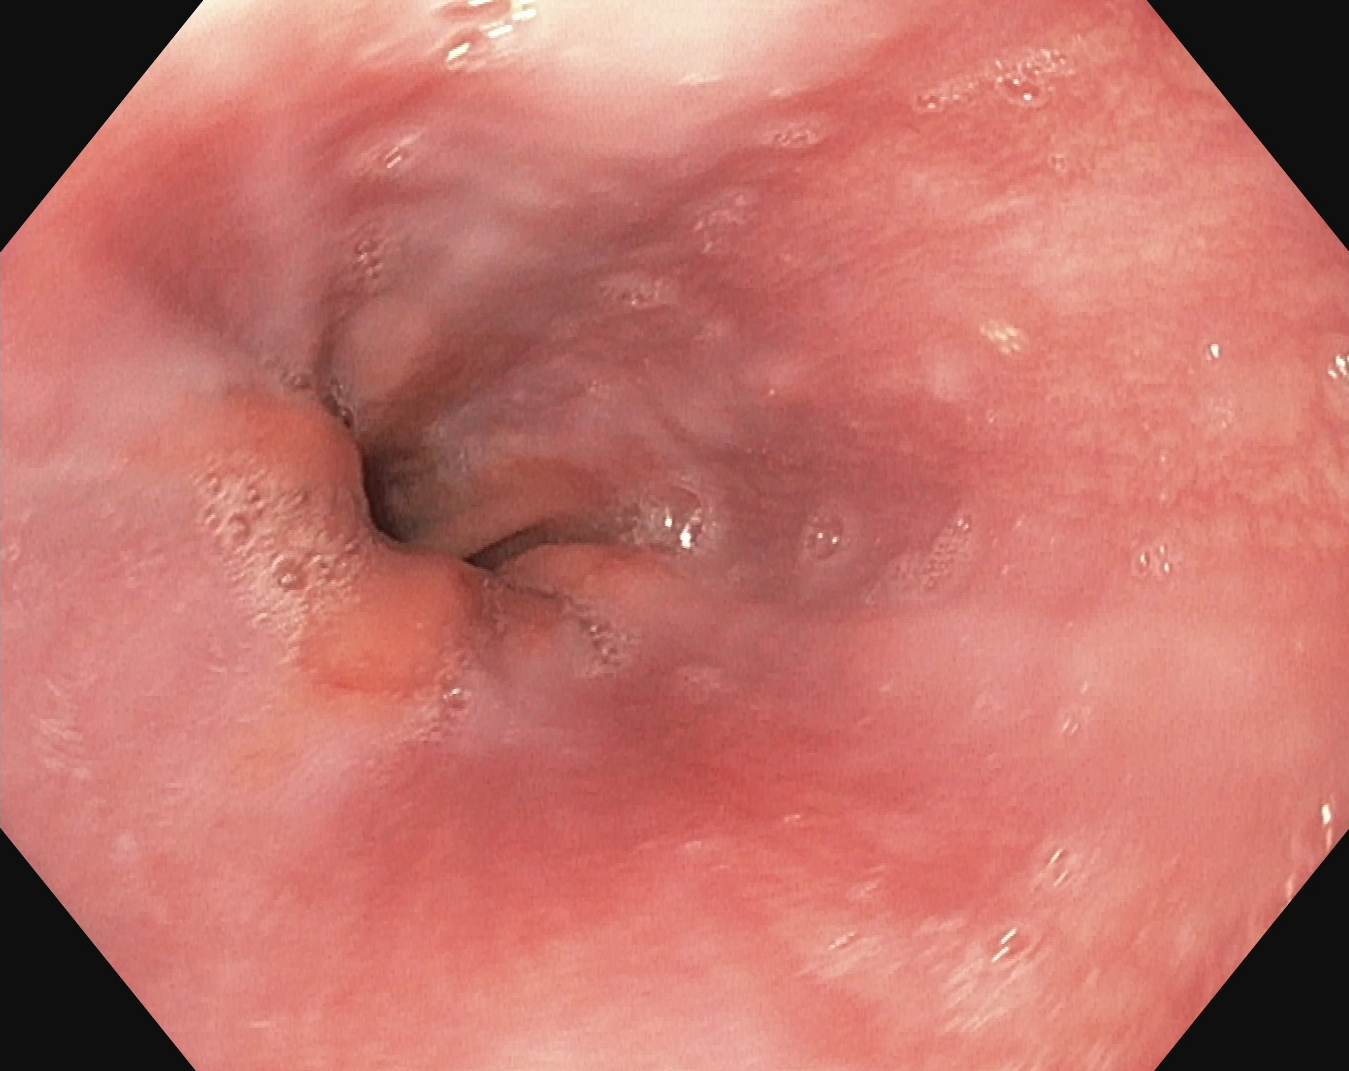Gastroscopy. Tract: upper GI tract. Finding: Z-line (gastroesophageal junction).